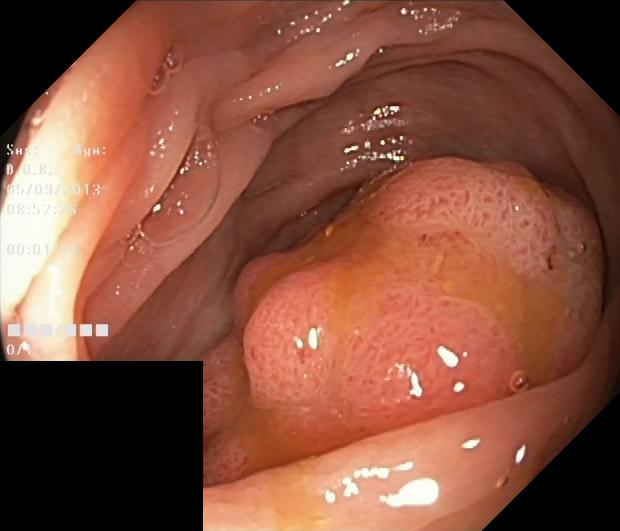{"modality": "lower gastrointestinal endoscopy", "tract": "lower GI tract", "category": "pathological finding", "finding": "colorectal polyp(s)"}